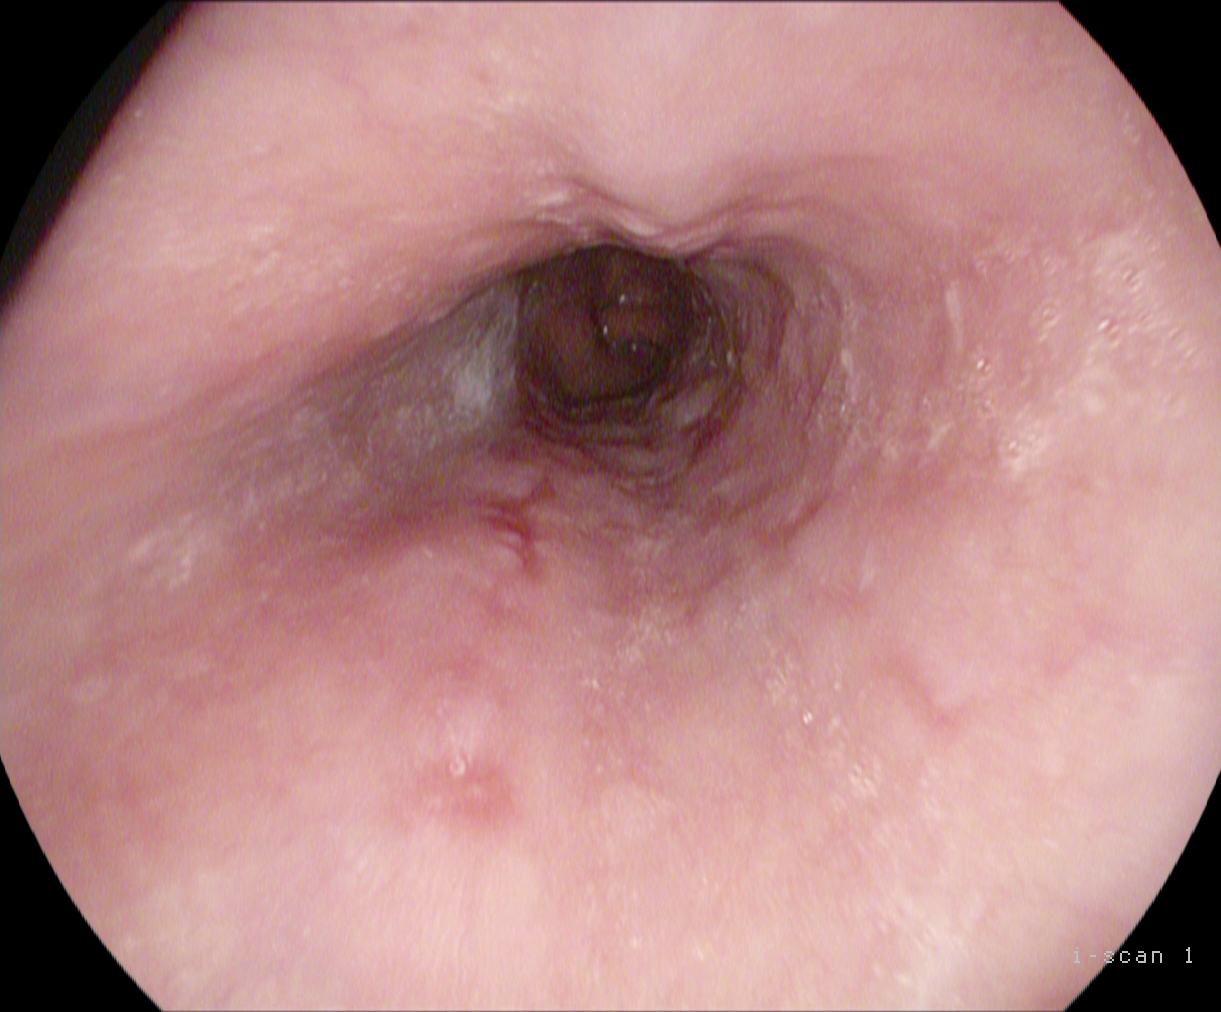Reflux esophagitis, LA grade B–D.